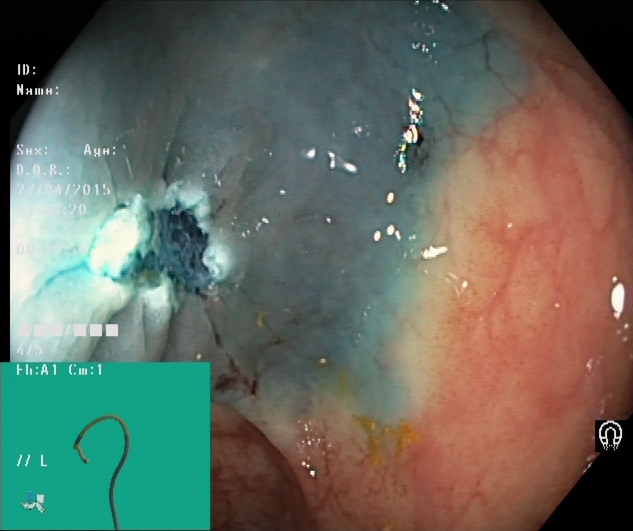modality: colonoscopy; tract: lower GI tract; category: therapeutic intervention; finding: dyed resection margins (post-polypectomy)